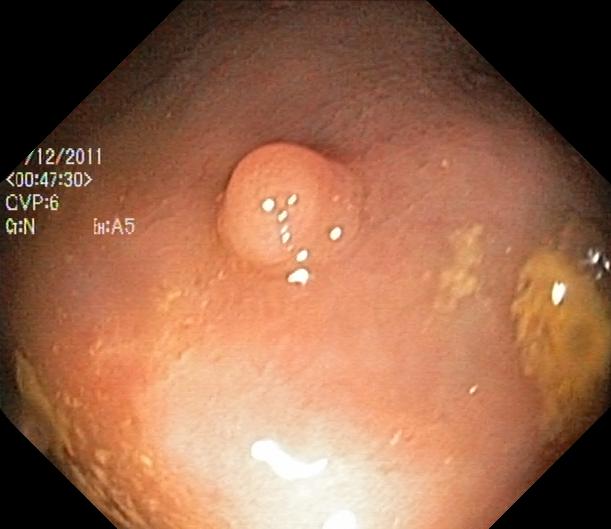PROCEDURE: Lower gastrointestinal endoscopy.
FINDINGS: Colorectal polyp(s).